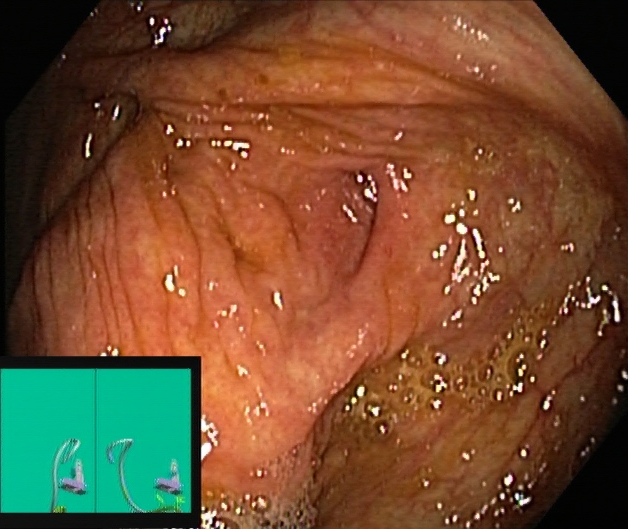Lower-GI endoscopy. Finding: cecum.